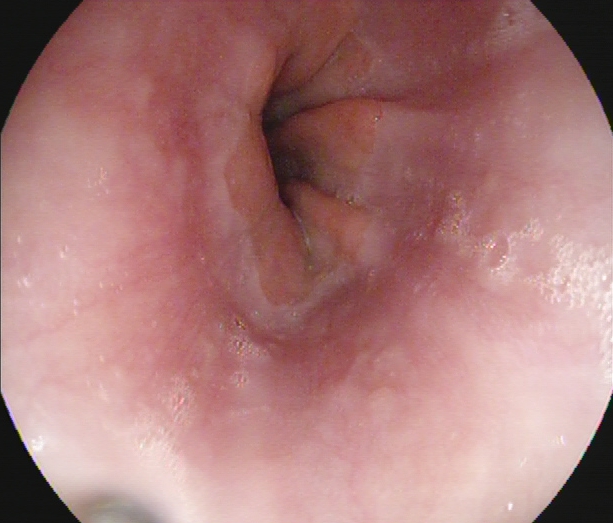Z-line (gastroesophageal junction).